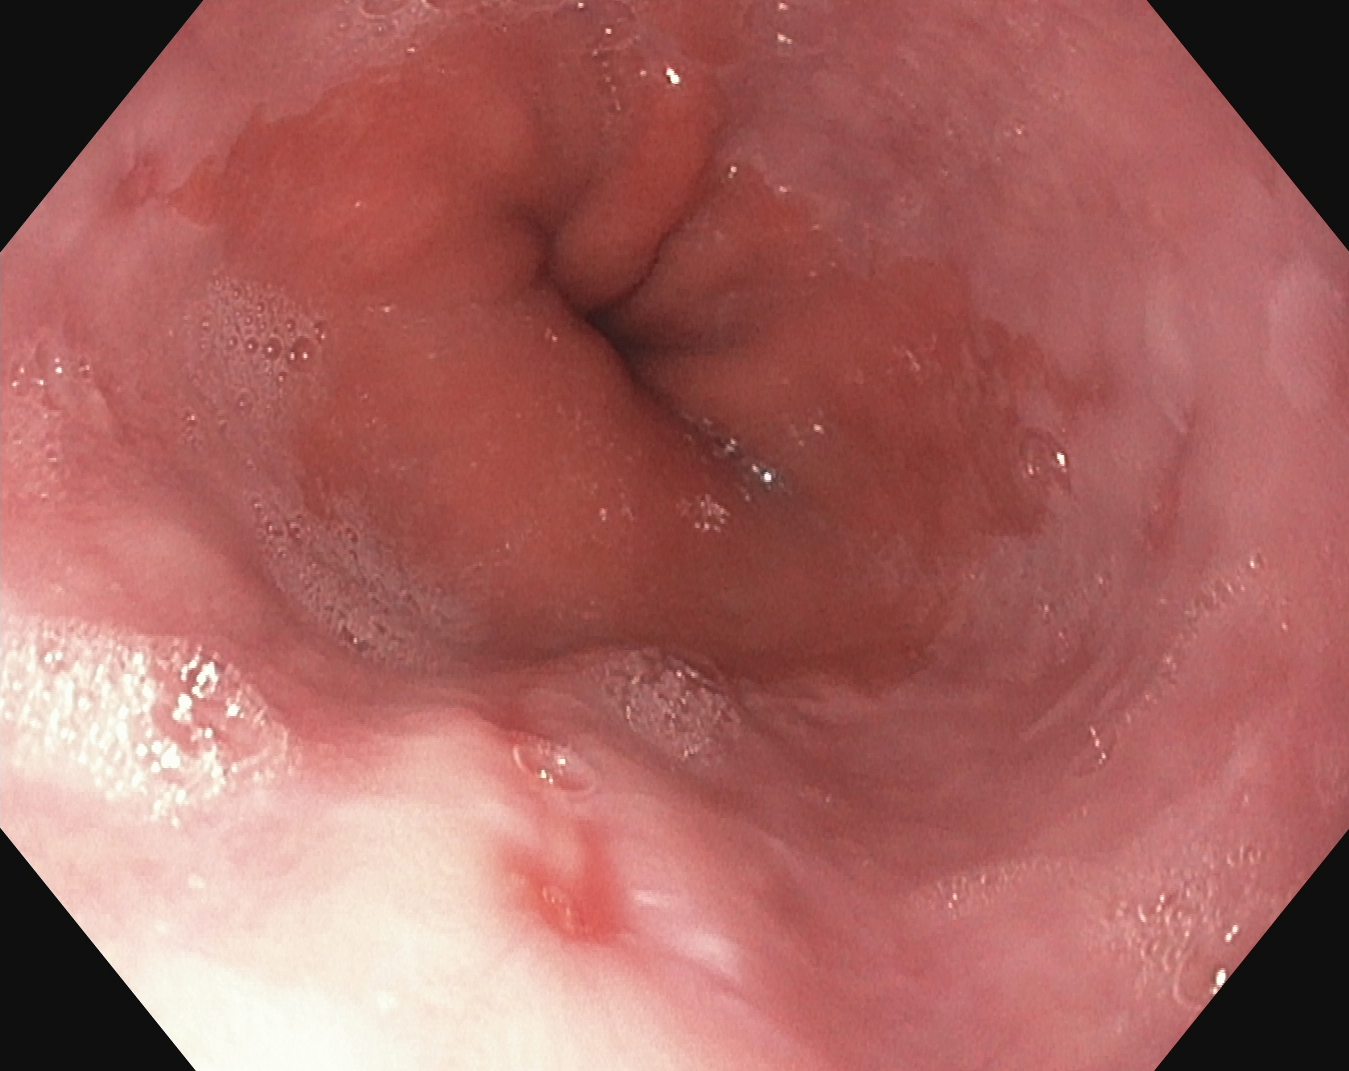This endoscopy frame of the upper GI tract shows reflux esophagitis, Los Angeles grade A.